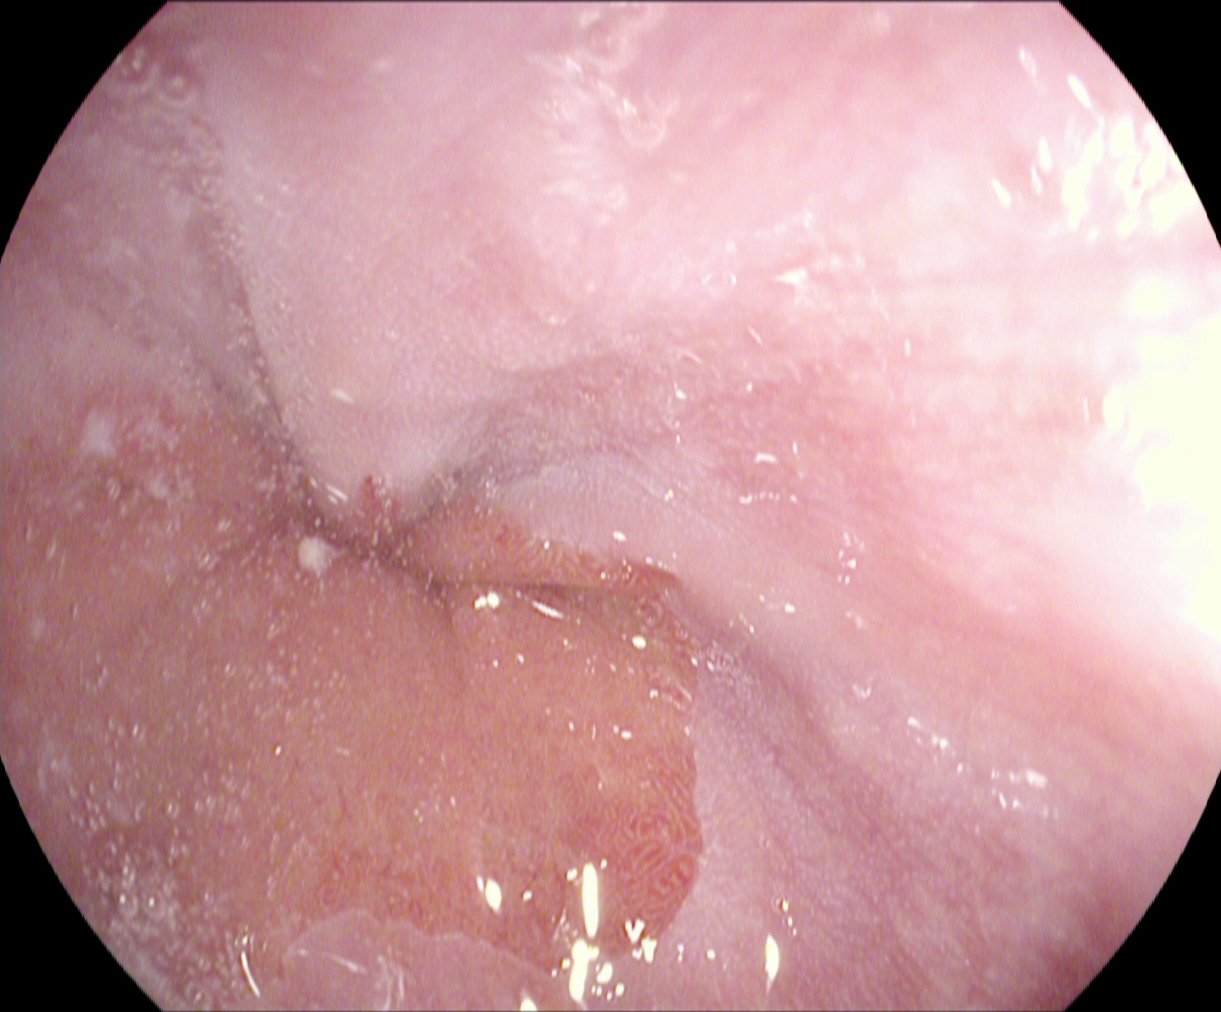Z-line (gastroesophageal junction).